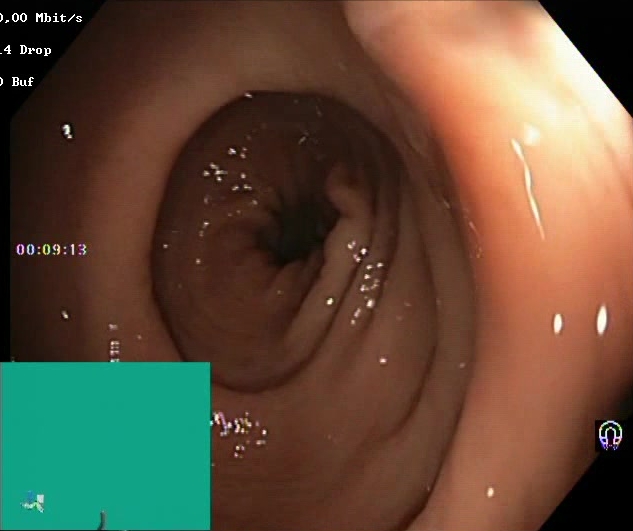Boston Bowel Preparation Scale score 2–3 (adequate preparation).